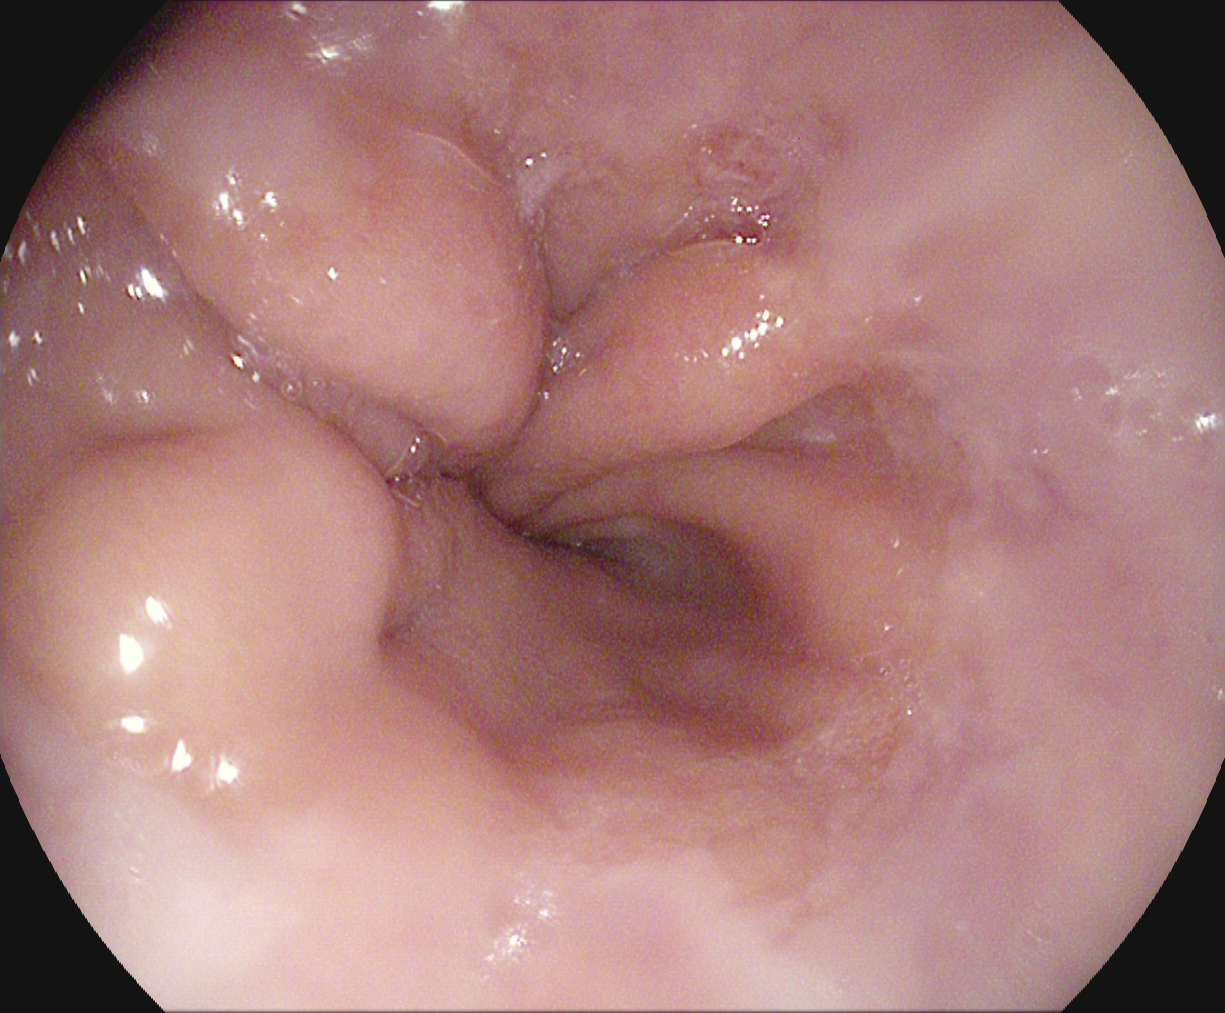PROCEDURE: Gastroscopy.
CATEGORY: Anatomical landmark.
FINDINGS: Z-line (gastroesophageal junction).